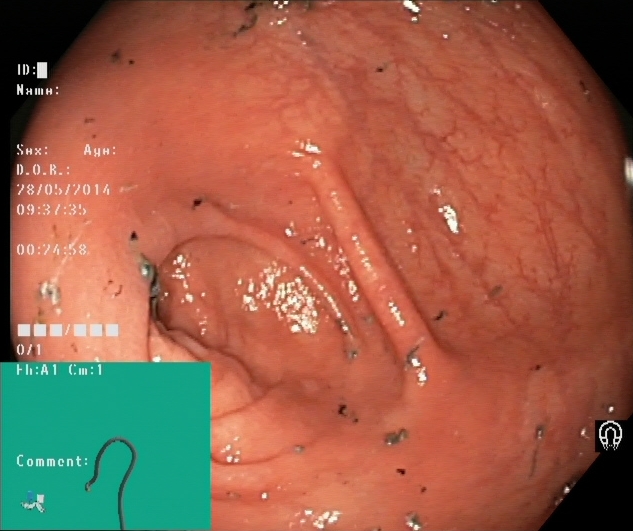modality: lower gastrointestinal endoscopy | tract: lower GI tract | finding: cecum